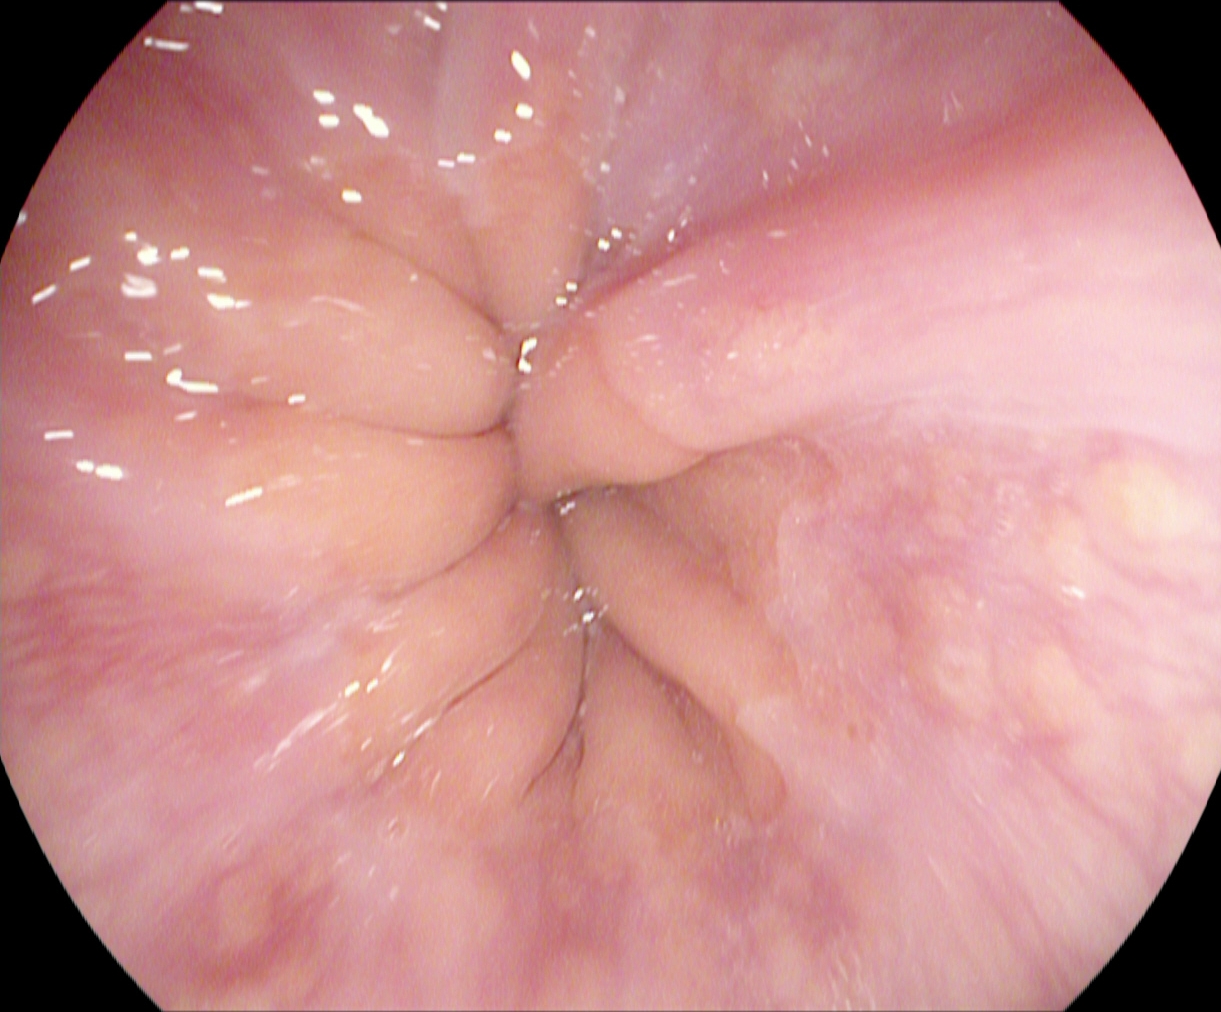modality: esophagogastroduodenoscopy
tract: upper GI tract
finding: Z-line (gastroesophageal junction)